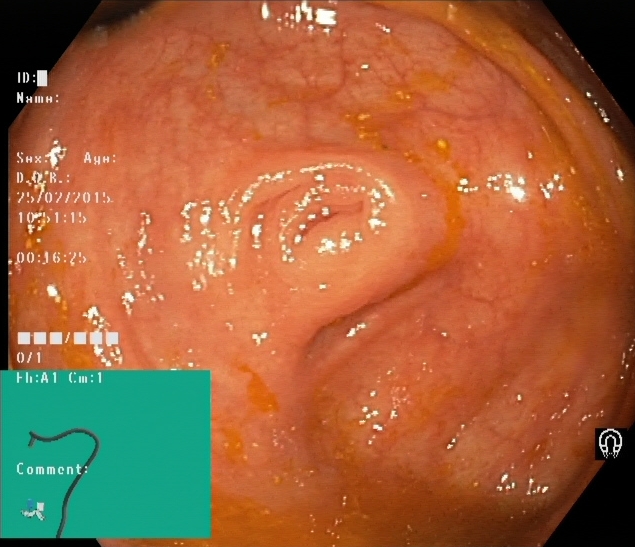Cecum.